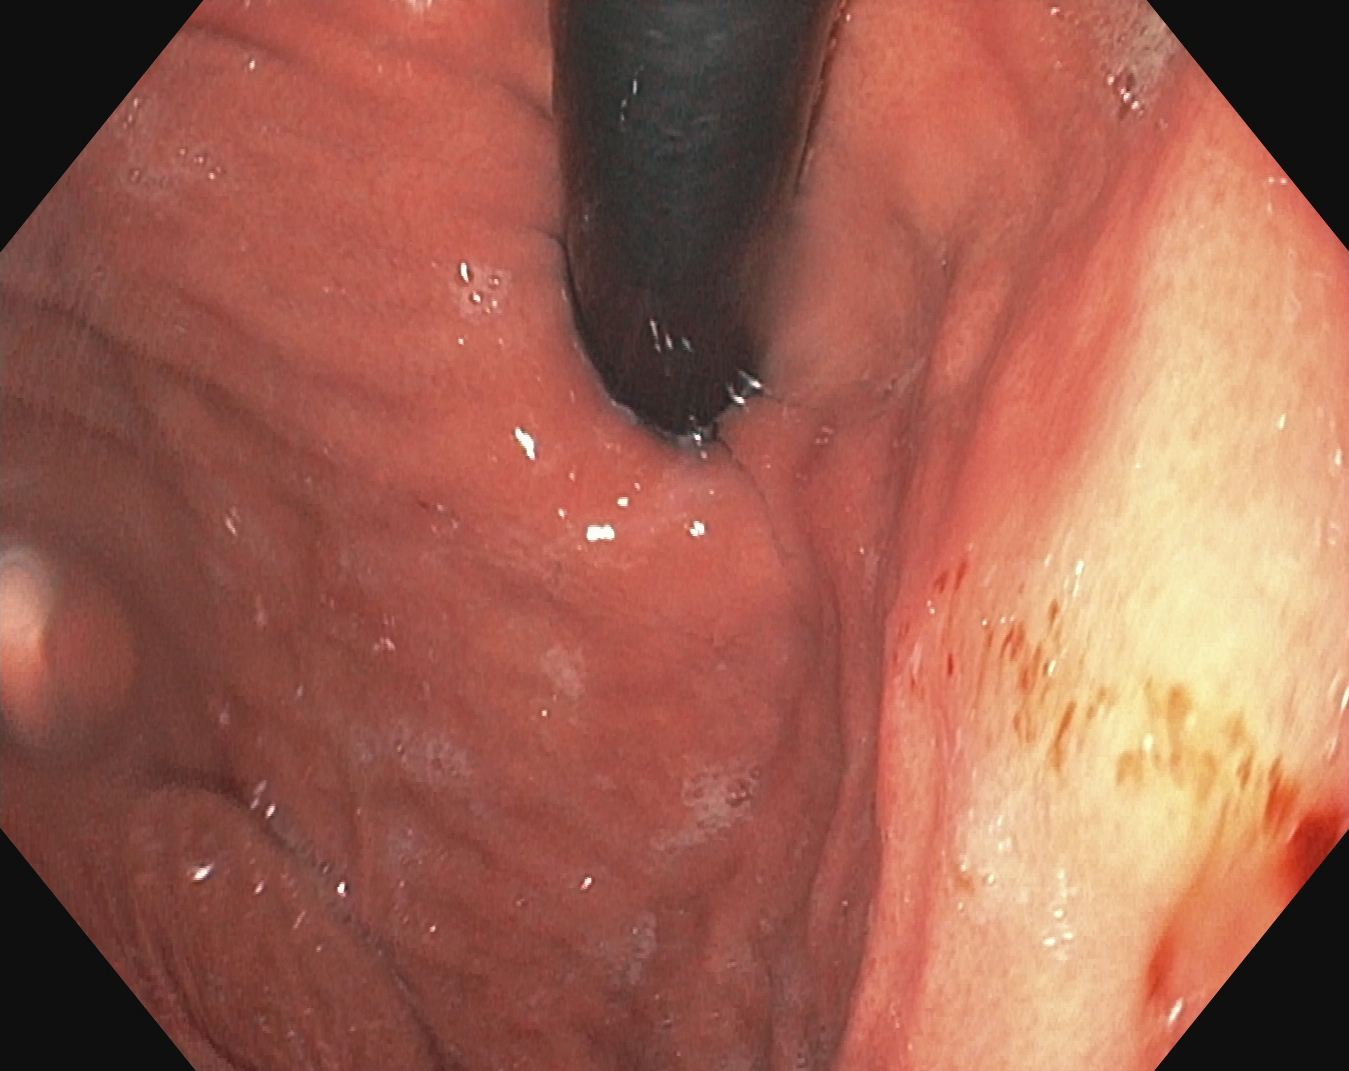modality: esophagogastroduodenoscopy
finding: stomach in retroflexion